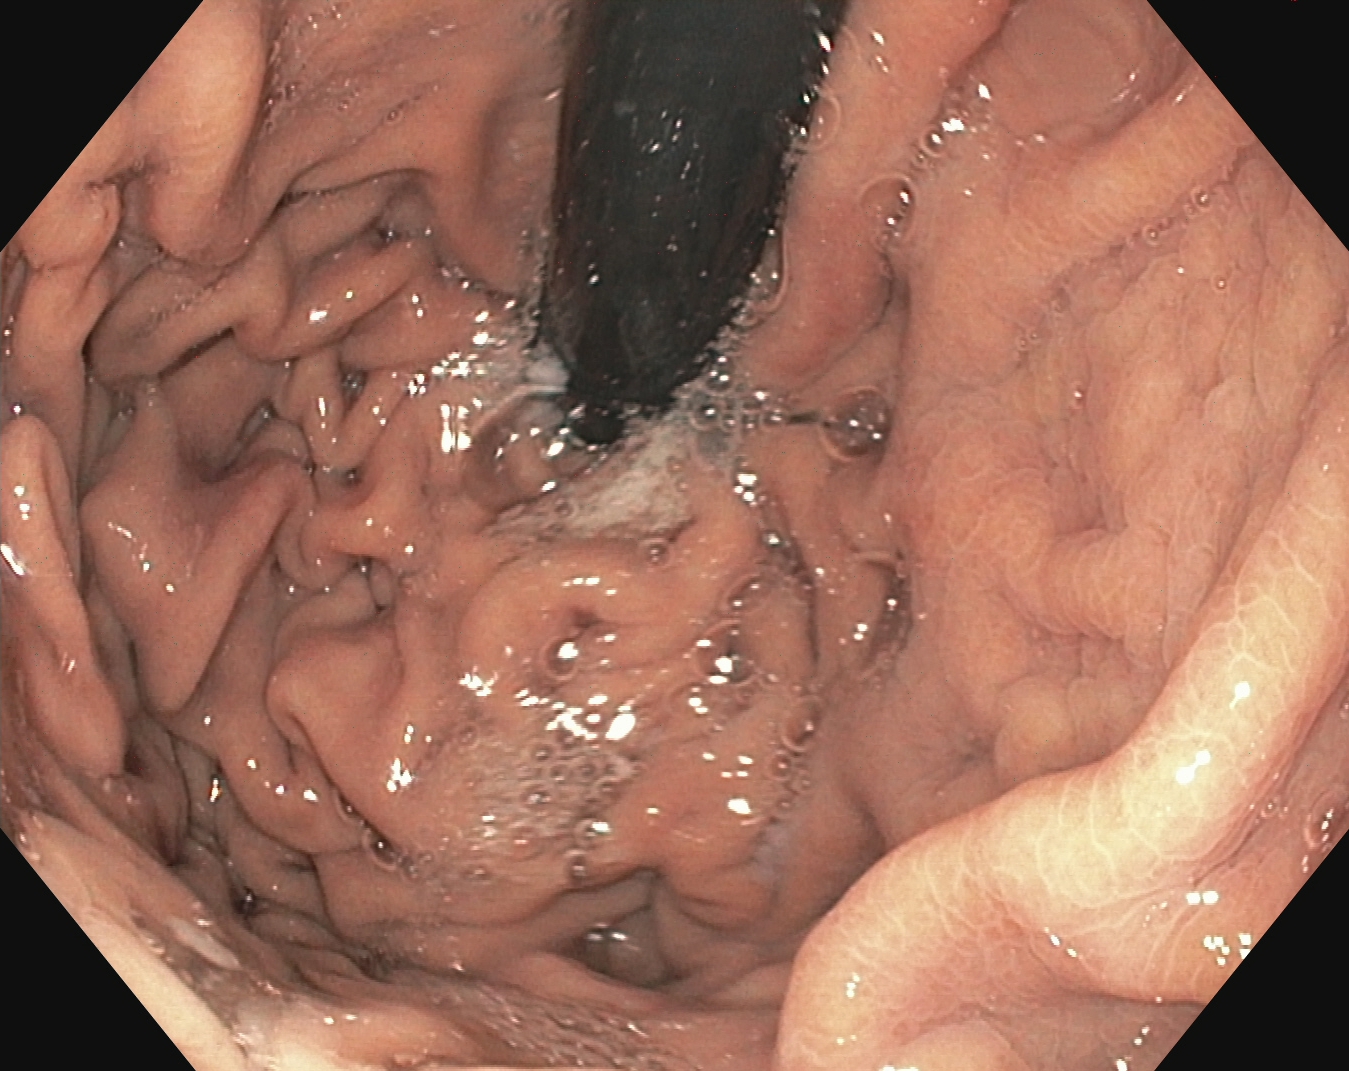{"modality": "EGD", "finding": "stomach in retroflexion"}